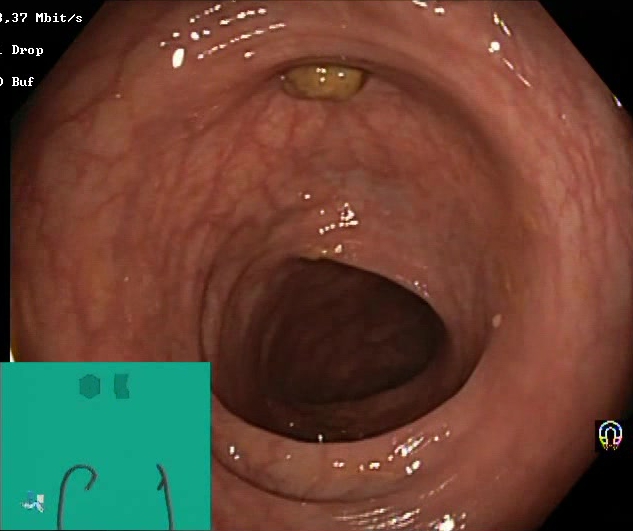{"modality": "colonoscopy", "tract": "lower GI tract", "category": "mucosal-view quality", "finding": "impacted stool"}